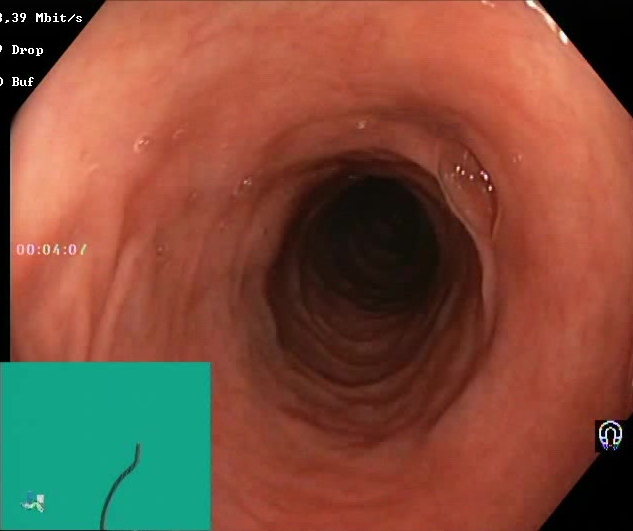Boston Bowel Preparation Scale score 2–3 (adequate preparation).